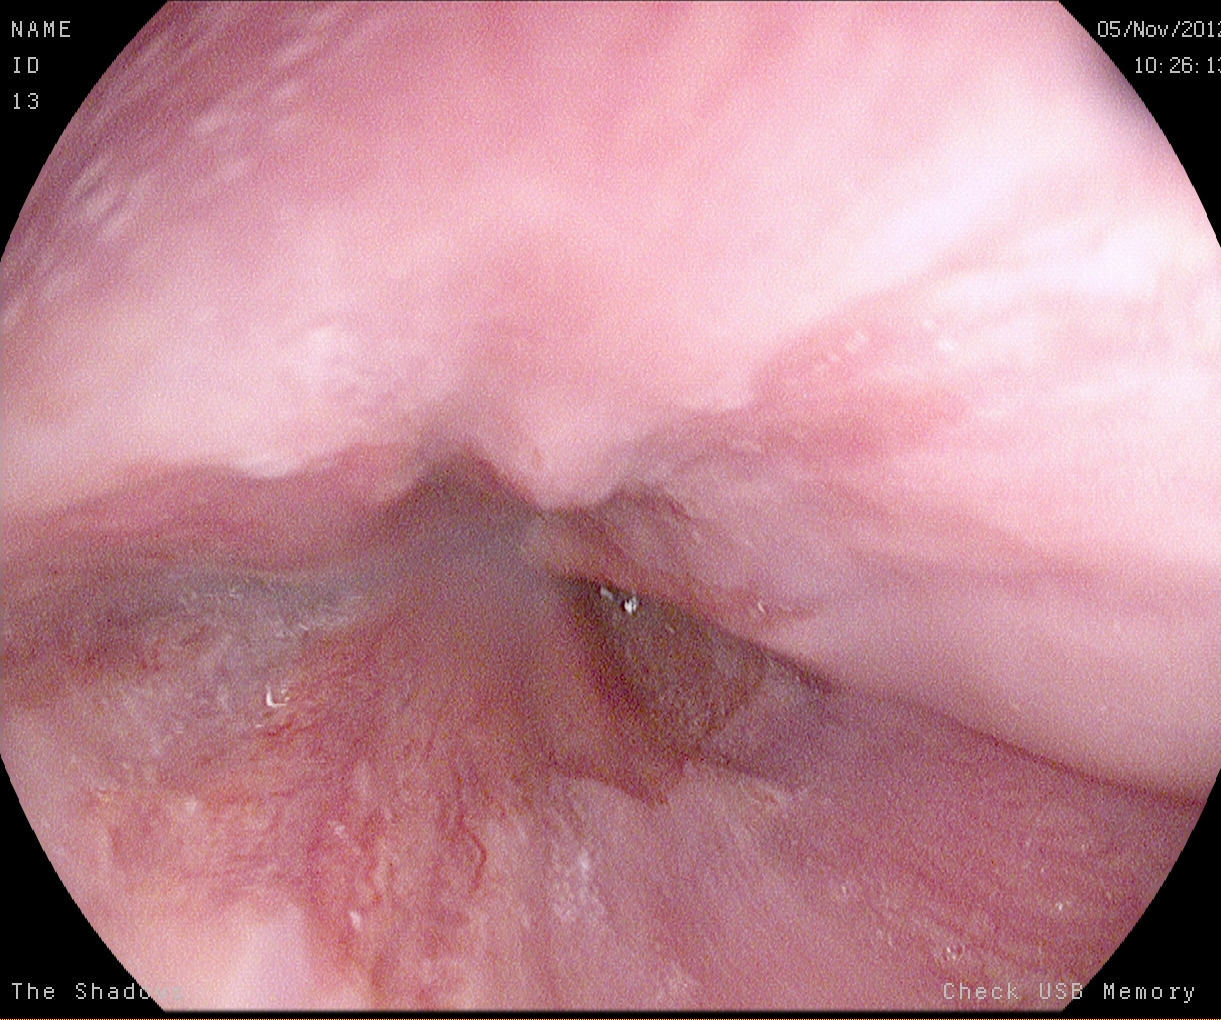modality: esophagogastroduodenoscopy
tract: upper GI tract
category: pathological finding
finding: Barrett's esophagus, short segment